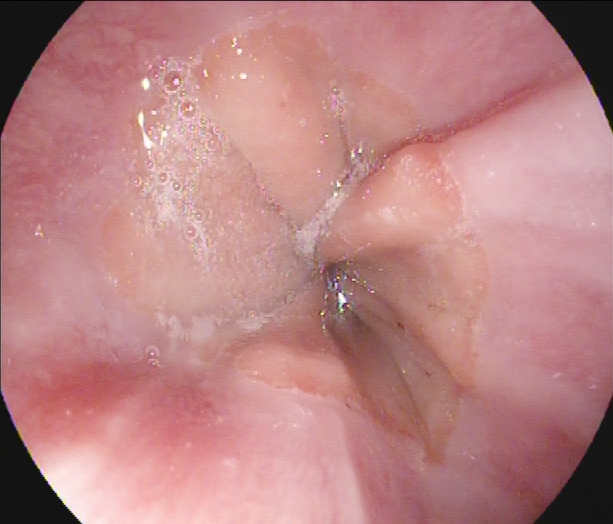PROCEDURE: Gastroscopy.
CATEGORY: Anatomical landmark.
FINDINGS: Z-line (gastroesophageal junction).